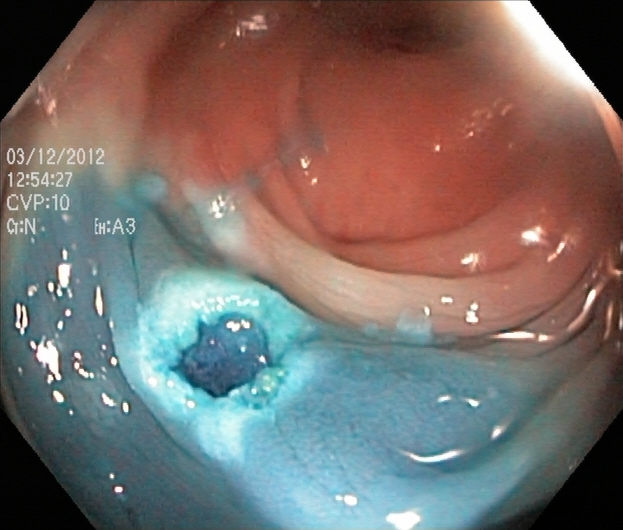Lower gastrointestinal endoscopy. Tract: lower GI tract. Finding: dyed resection margins (post-polypectomy).